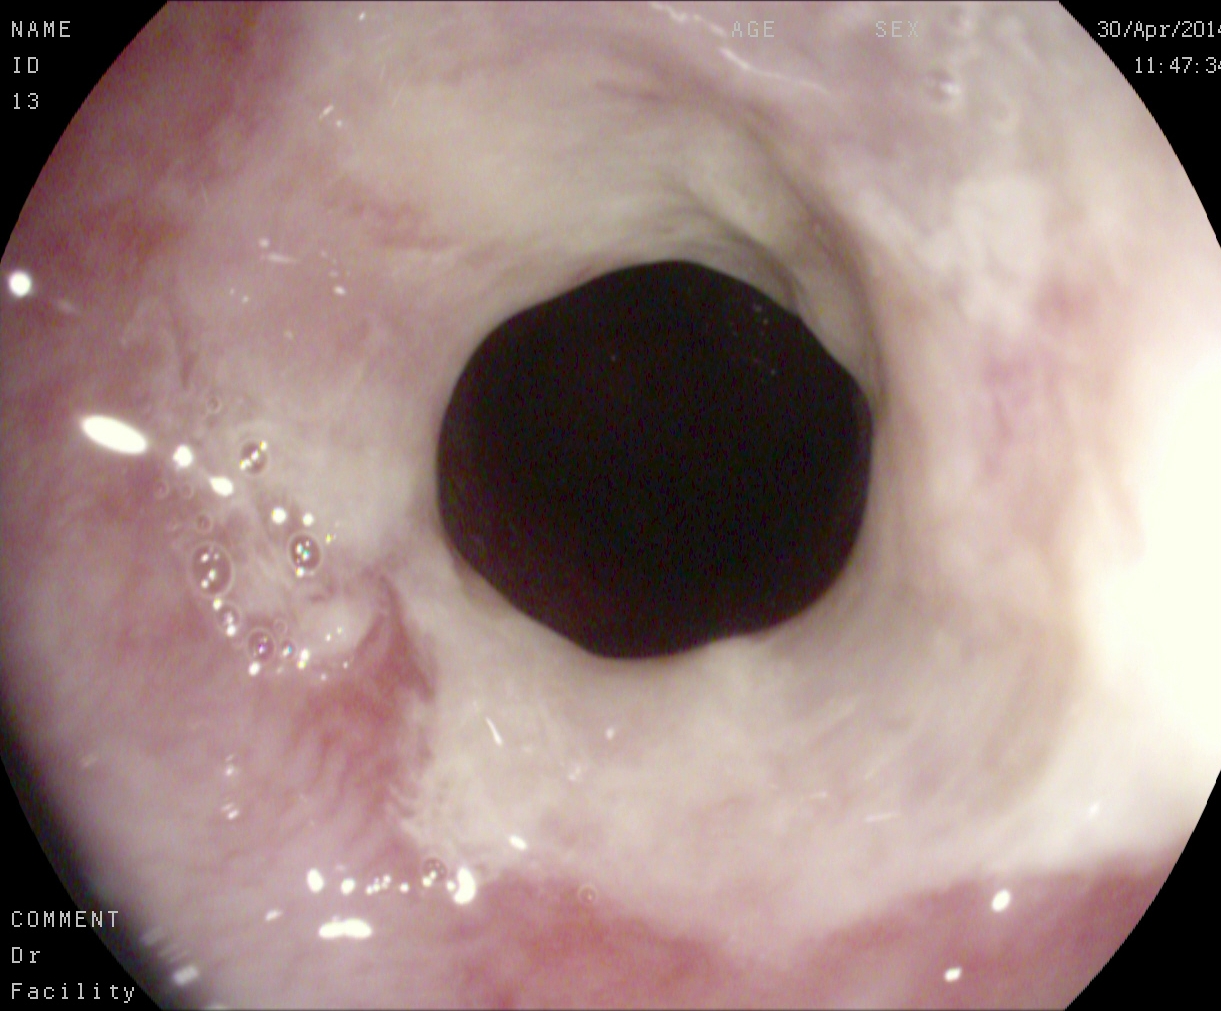Reflux esophagitis, LA grade B–D.